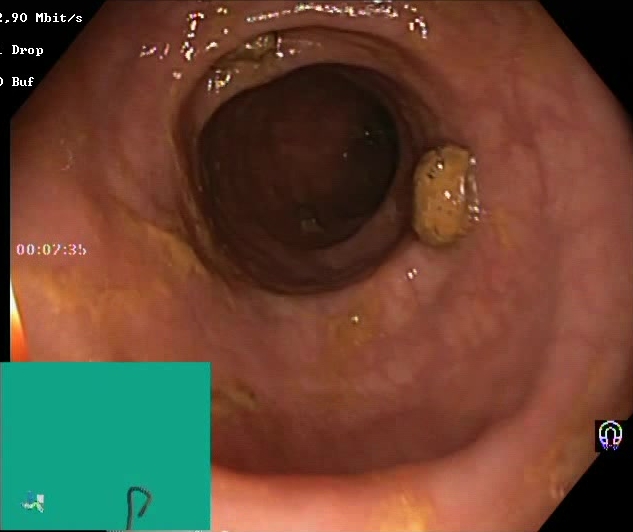Boston Bowel Preparation Scale score 2–3 (adequate preparation).